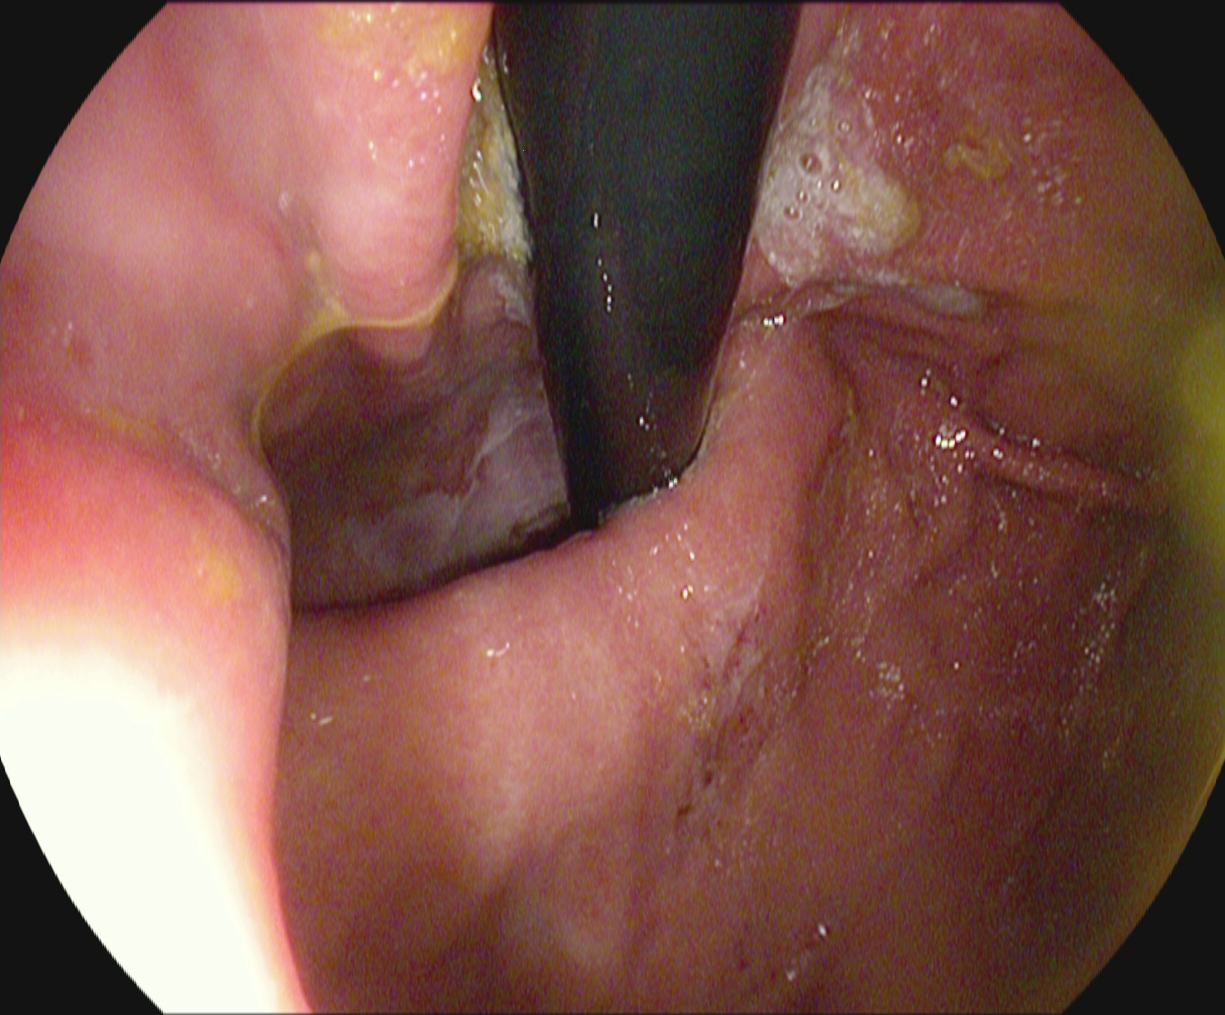Gastroscopy. Anatomical landmark. Finding: stomach in retroflexion.